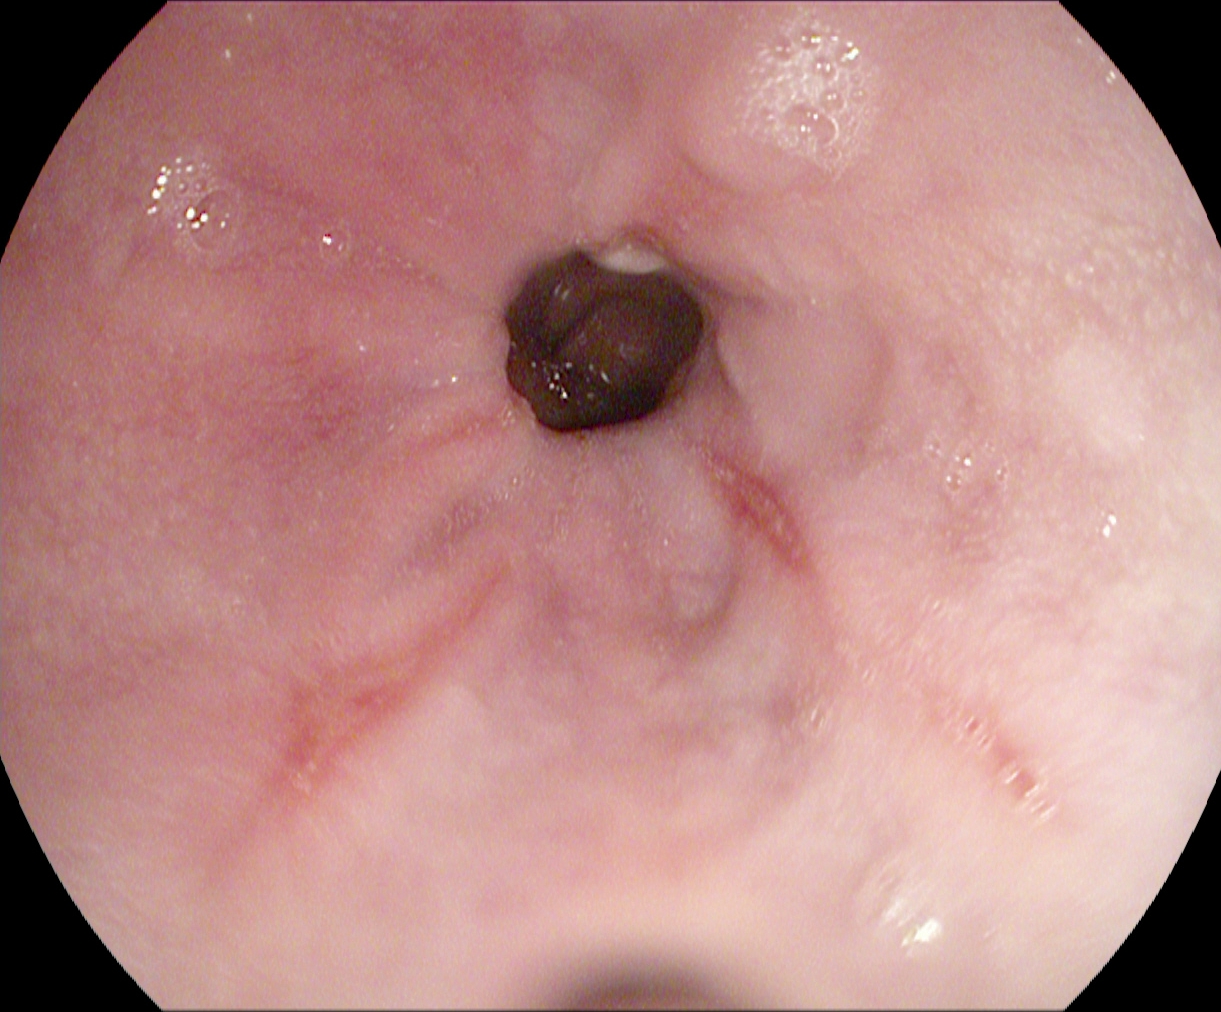This endoscopy frame of the upper GI tract shows reflux esophagitis, LA grade A.